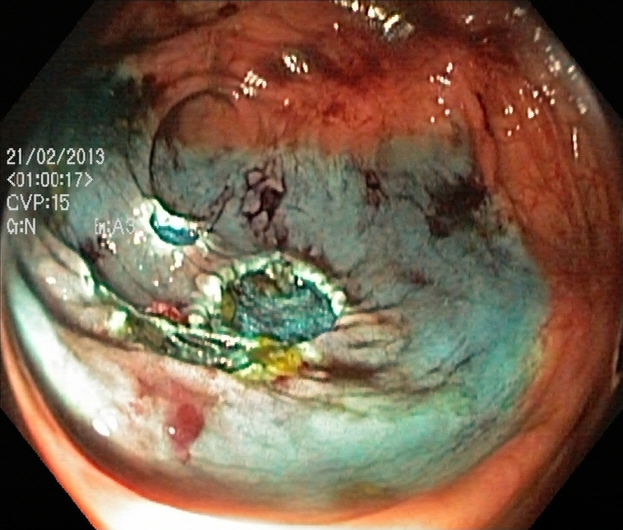This endoscopic image shows dyed resection margins (post-polypectomy).